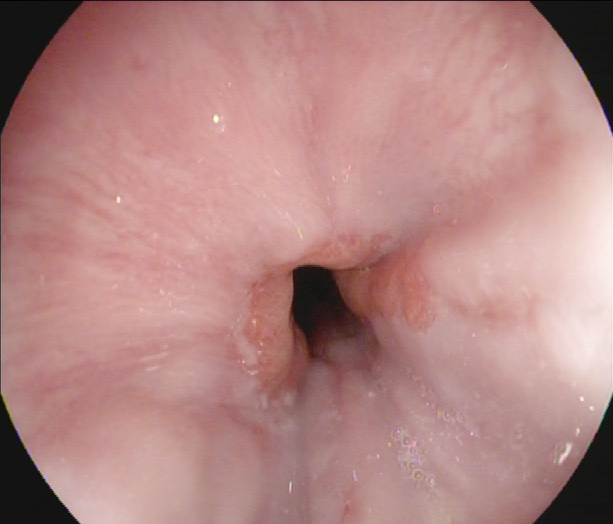Gastroscopy. Tract: upper GI tract. Anatomical landmark. Finding: Z-line (gastroesophageal junction).